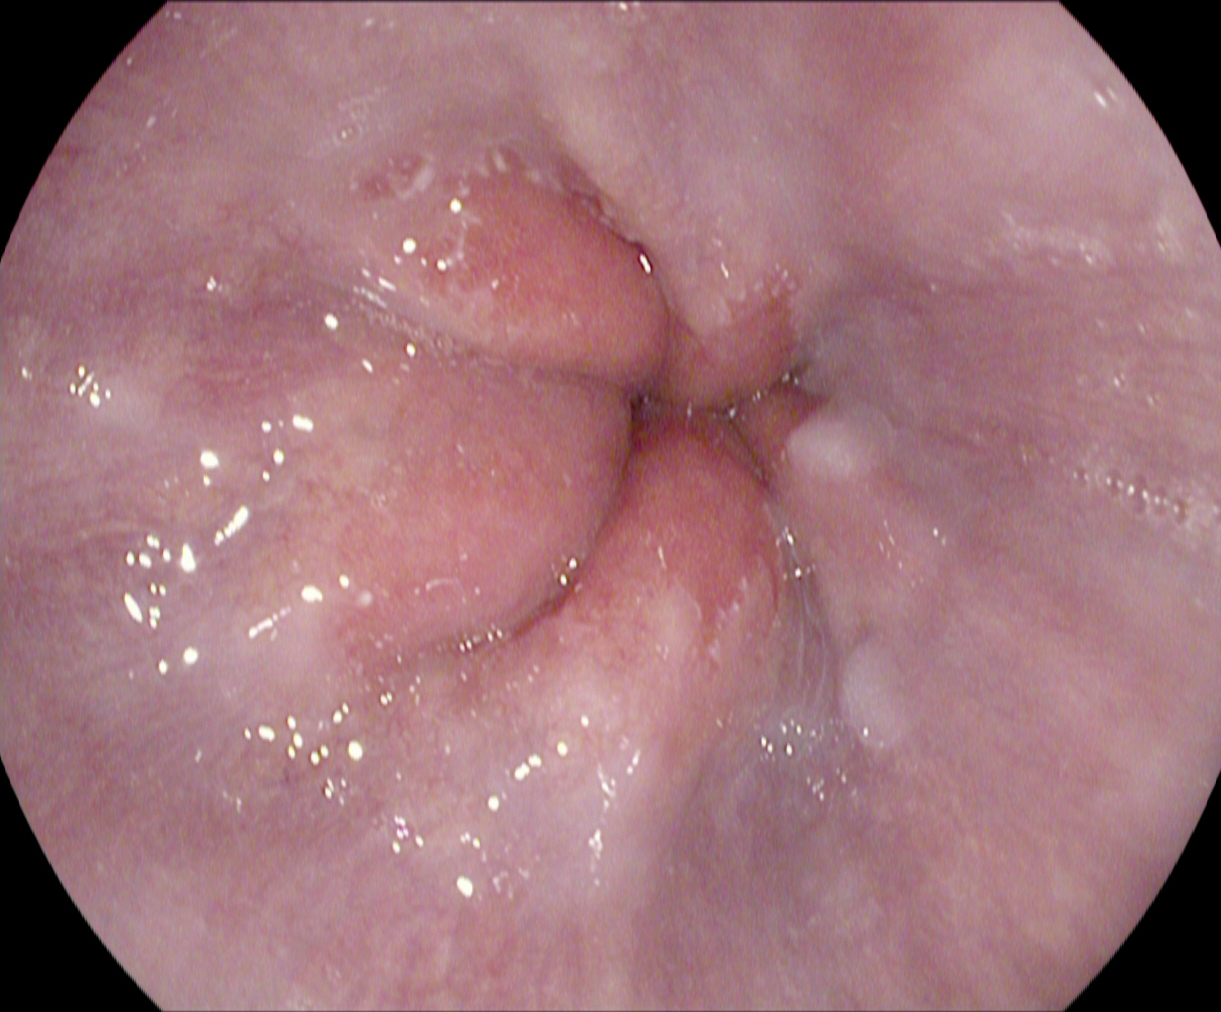Upper-GI endoscopy image of the upper GI tract showing Z-line (gastroesophageal junction).